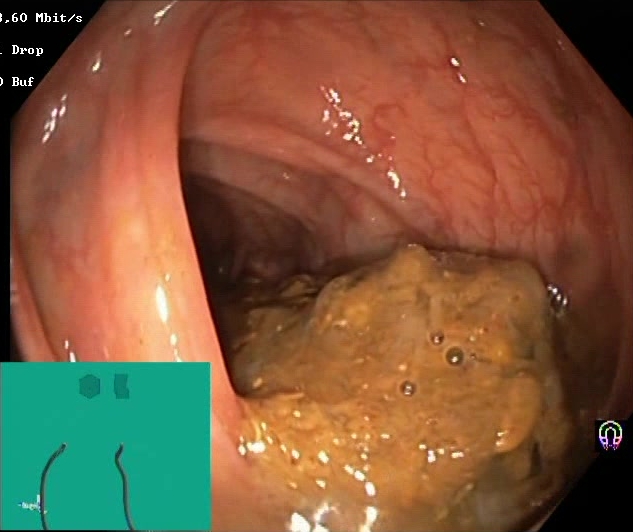PROCEDURE: Lower gastrointestinal endoscopy.
FINDINGS: Boston Bowel Preparation Scale score 0–1 (inadequate preparation).